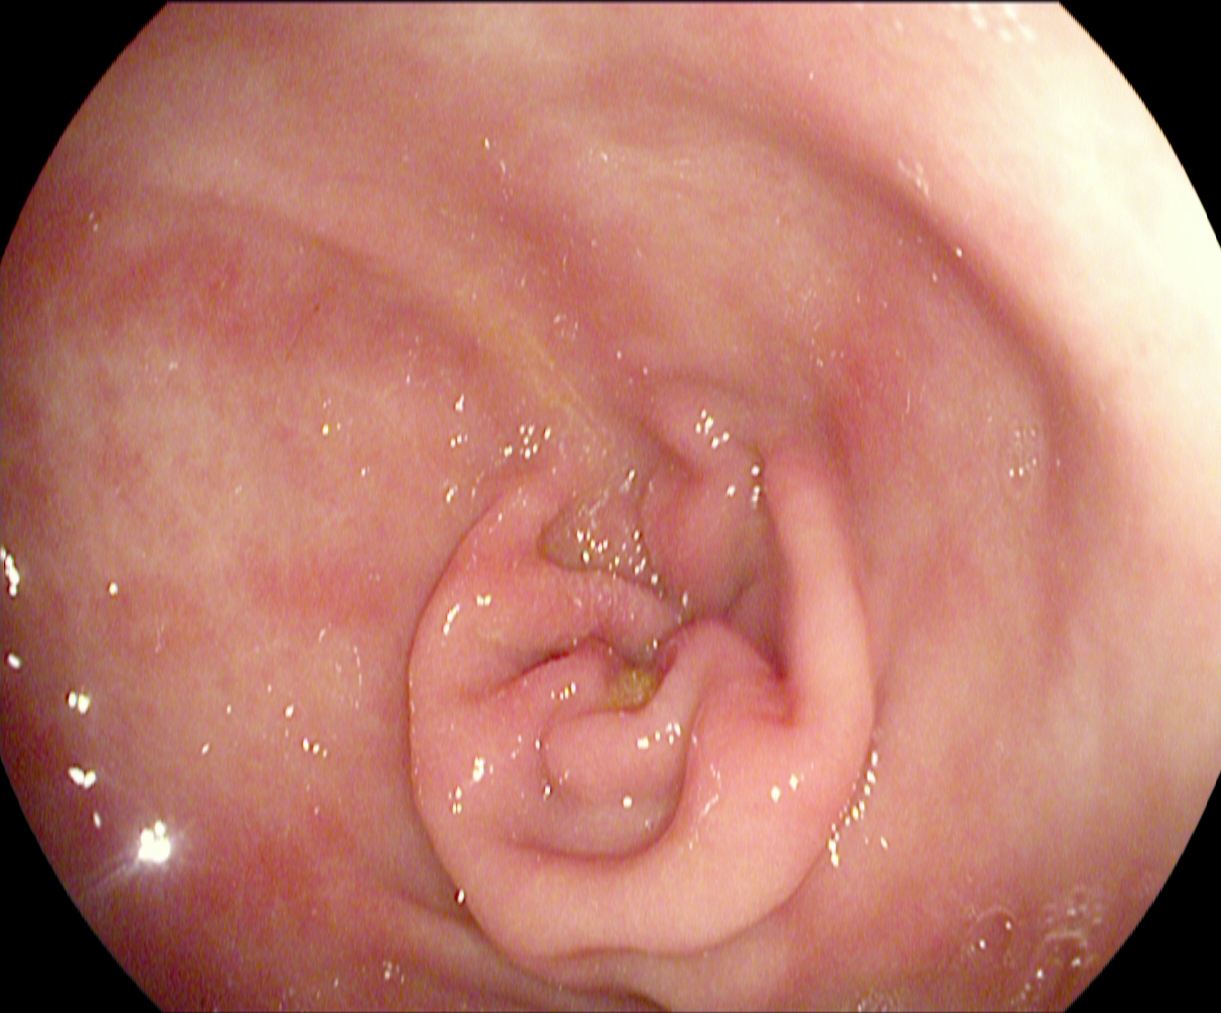Pylorus.